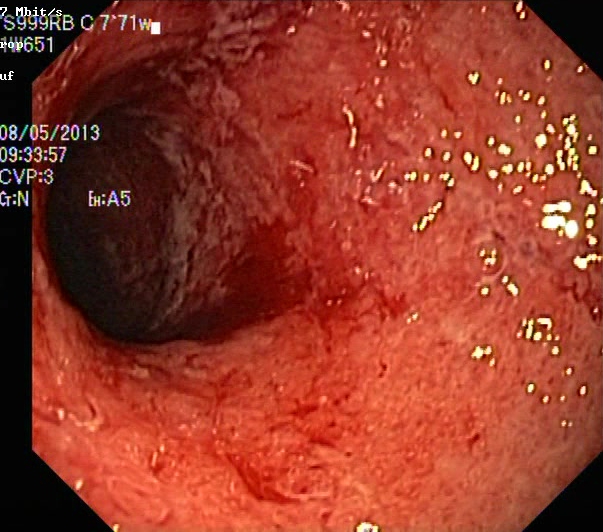Endoscopic image of the lower GI tract showing UC, Mayo endoscopic subscore 3.